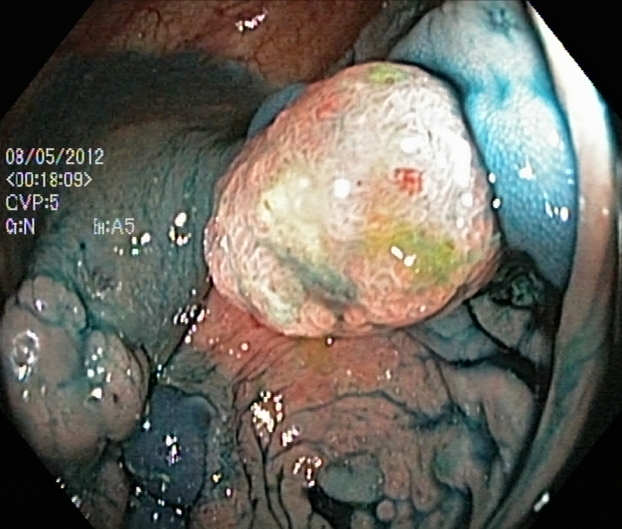This endoscopic image of the lower GI tract shows dyed and lifted polyp (pre-resection).